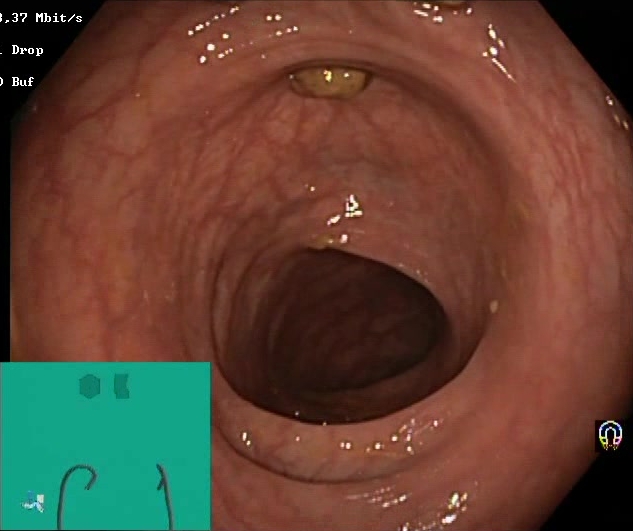Colonoscopy. Tract: lower GI tract. Finding: BBPS score 2–3 (adequate preparation).